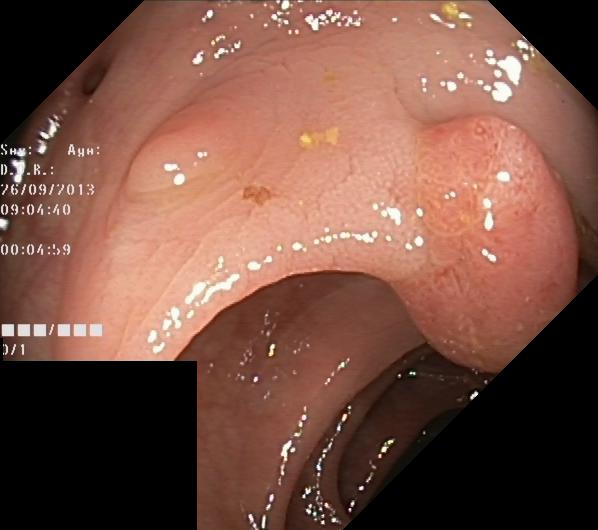{"modality": "colonoscopy", "tract": "lower GI tract", "finding": "colorectal polyp(s)"}